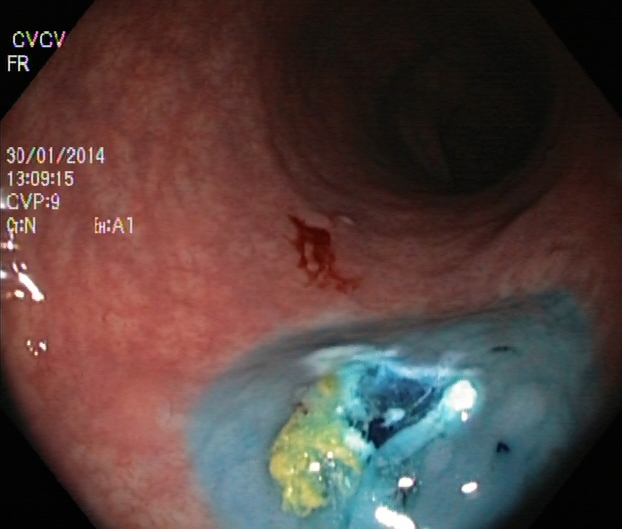{"modality": "colonoscopy", "finding": "dyed resection margins (post-polypectomy)"}